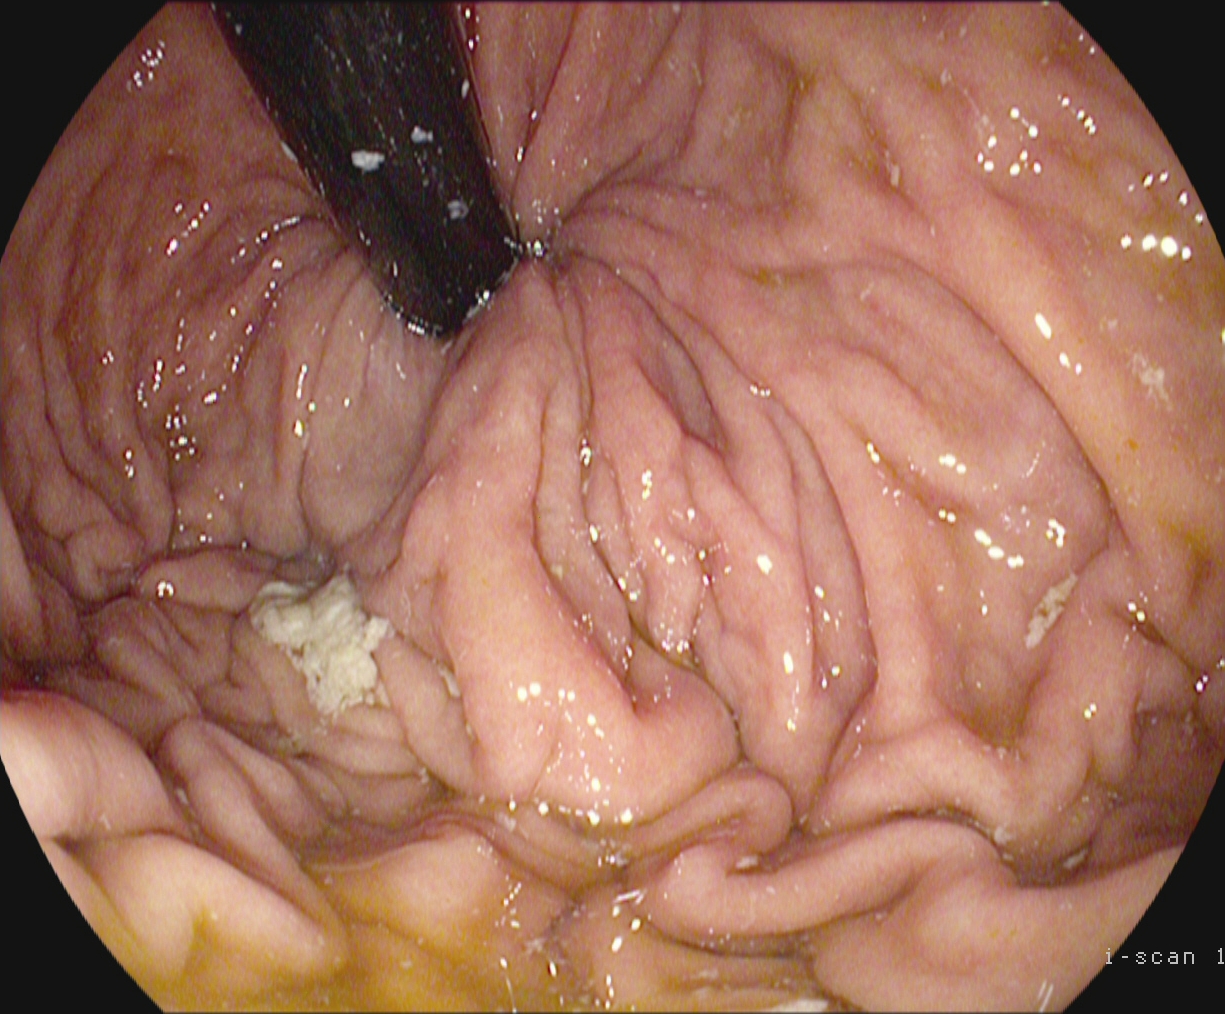Esophagogastroduodenoscopy. Anatomical landmark. Finding: stomach in retroflexion.